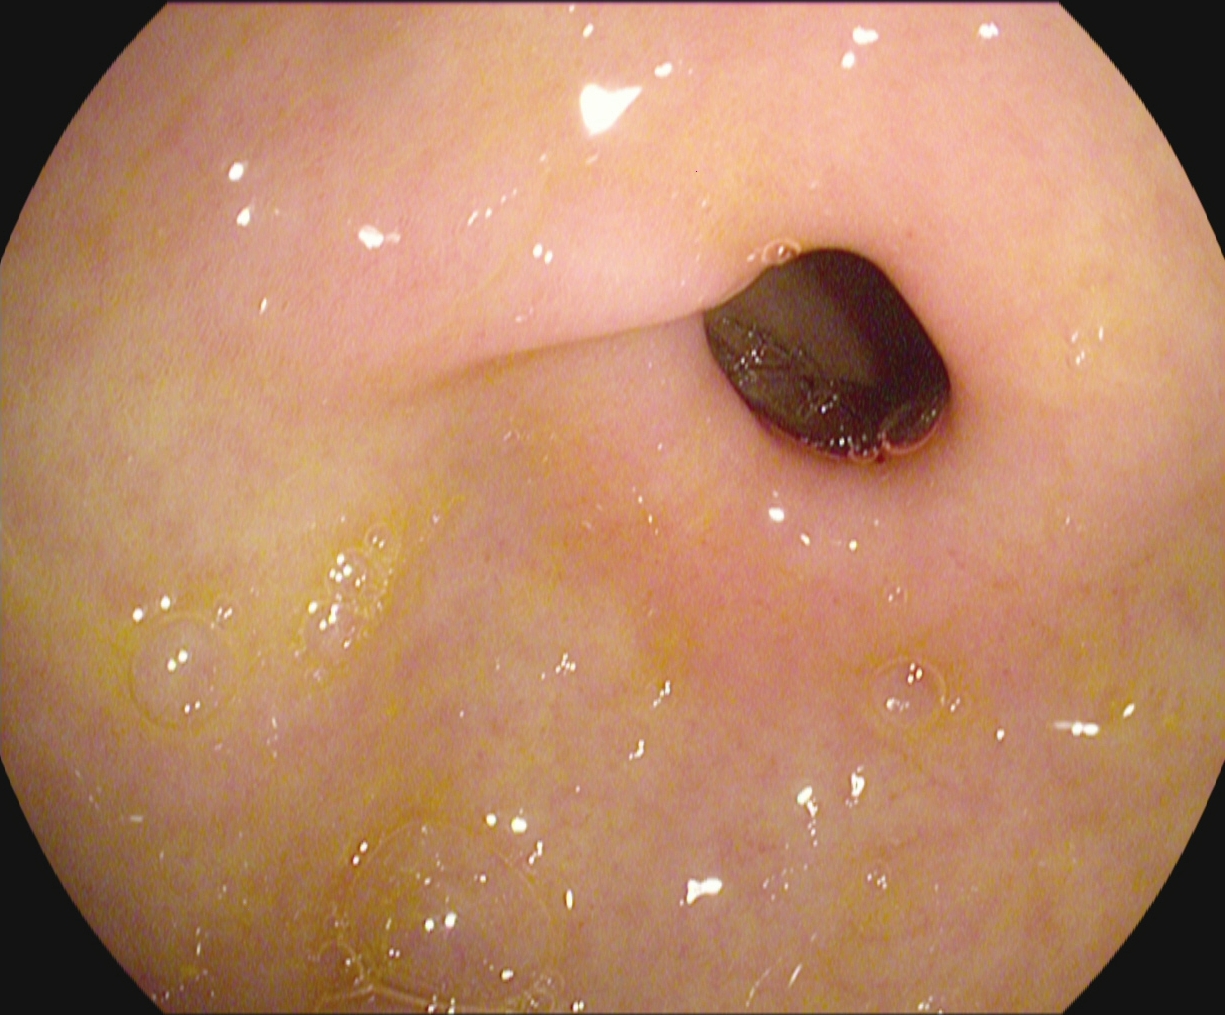Esophagogastroduodenoscopy — pylorus.